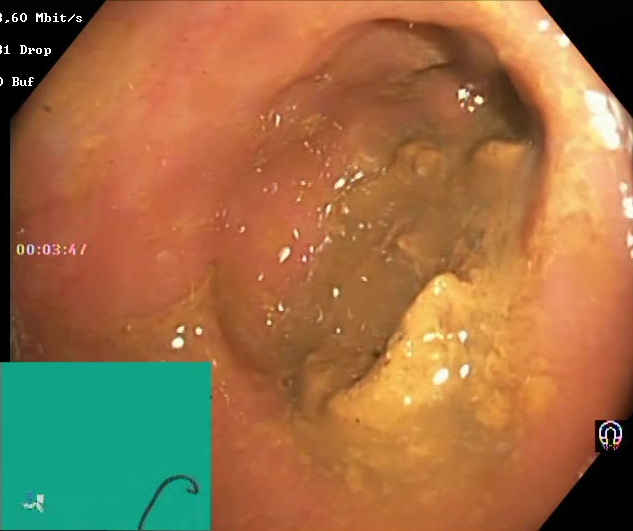PROCEDURE: Lower gastrointestinal endoscopy.
CATEGORY: Mucosal-view quality.
FINDINGS: Boston Bowel Preparation Scale score 0–1 (inadequate preparation).